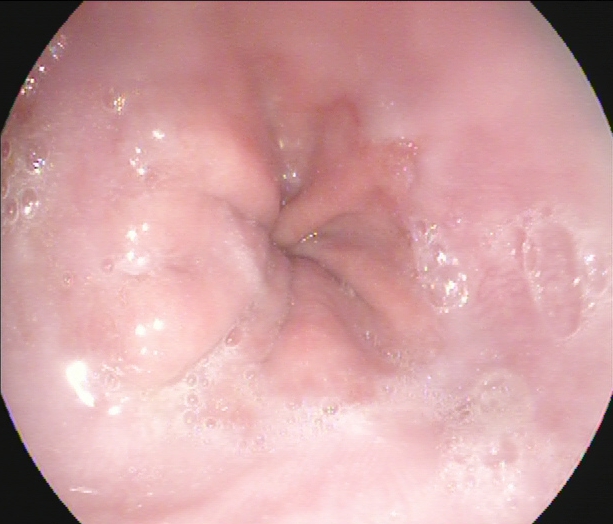Endoscopy image of the upper GI tract showing Z-line (gastroesophageal junction).